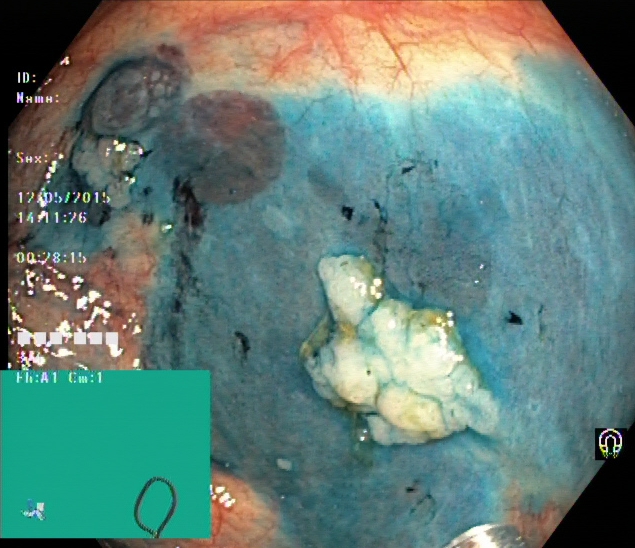{"modality": "lower-GI endoscopy", "tract": "lower GI tract", "category": "therapeutic intervention", "finding": "dyed and lifted polyp (pre-resection)"}